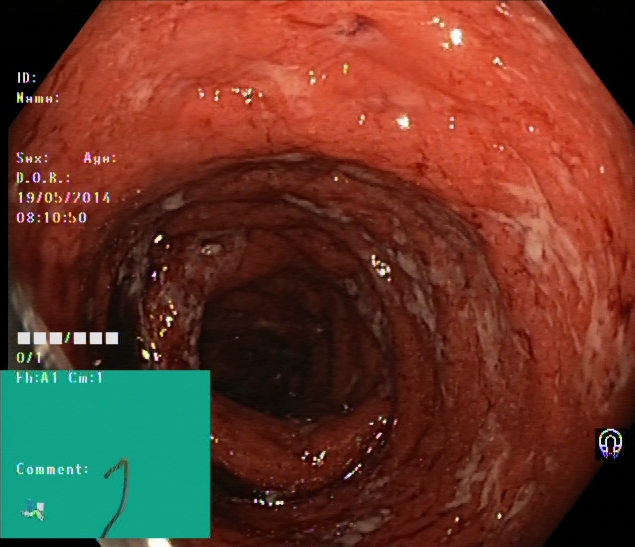Endoscopic image showing ulcerative colitis, Mayo endoscopic subscore 3.